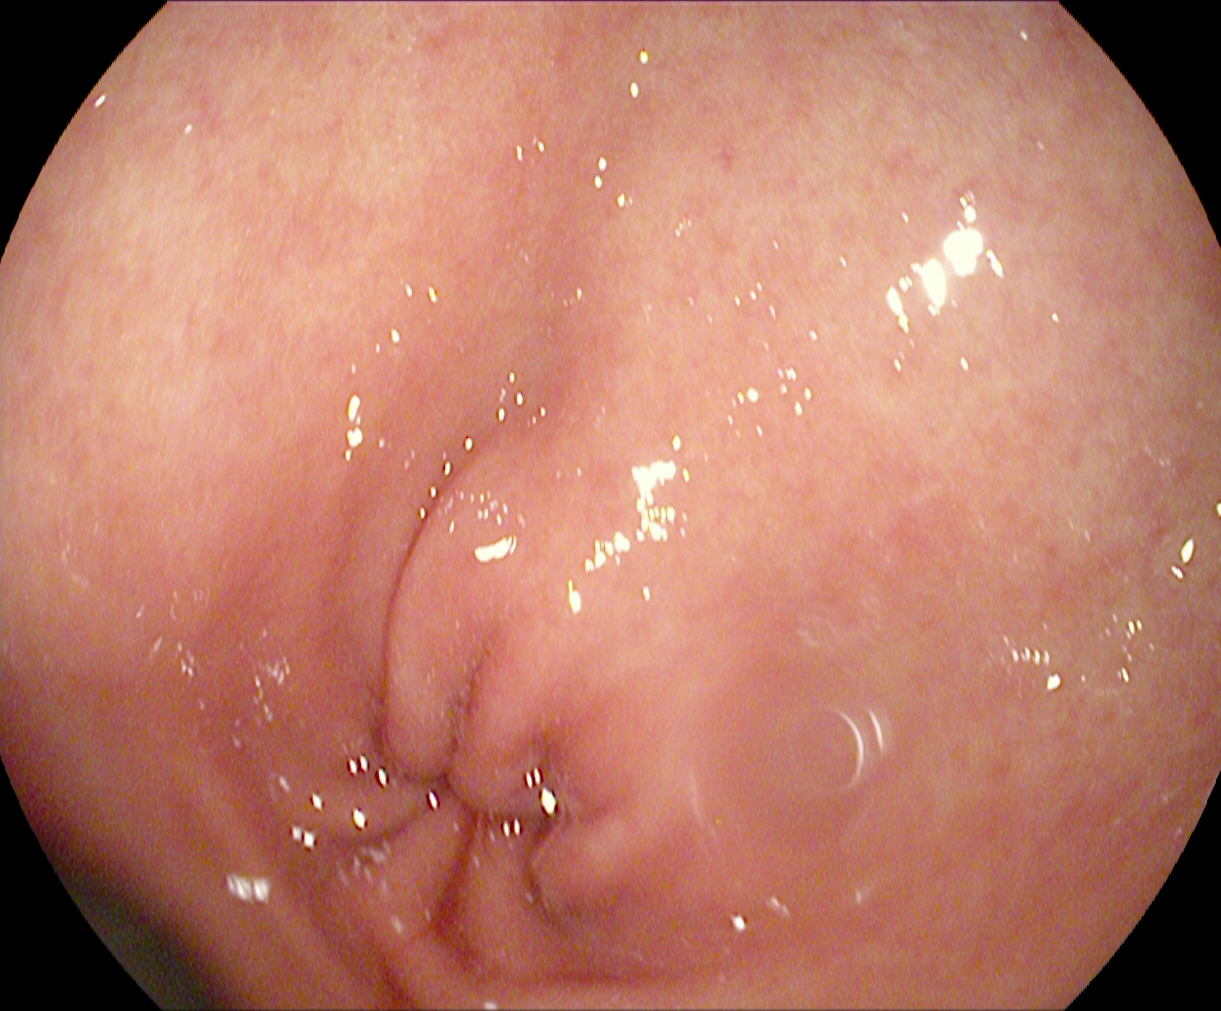GI endoscopy image showing pylorus.